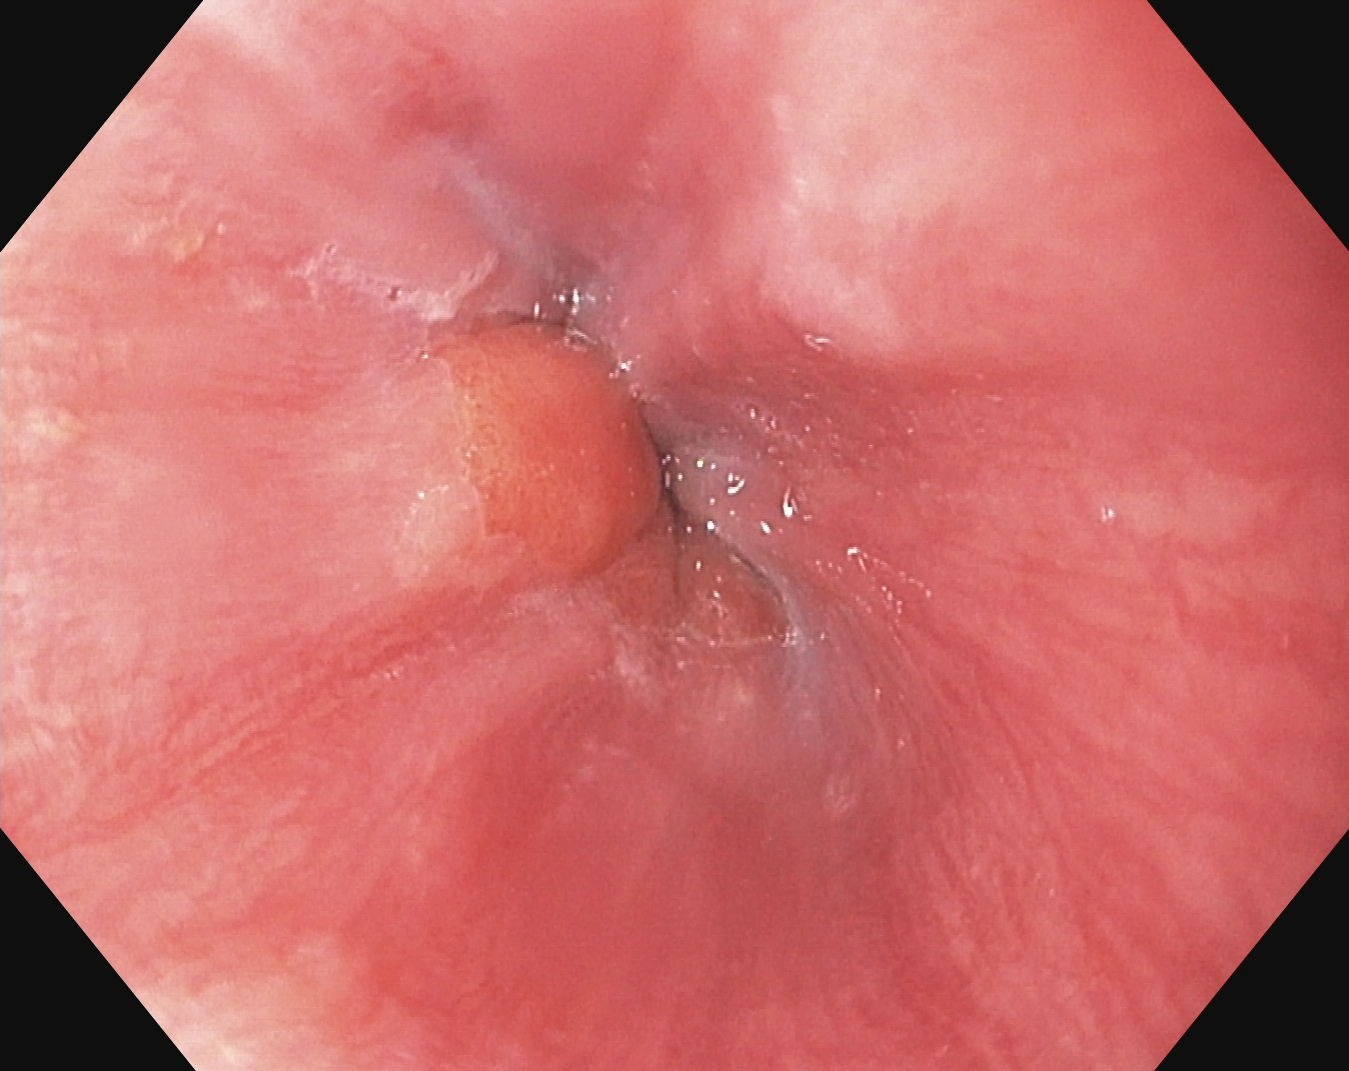Gastroscopy. Tract: upper GI tract. Finding: Z-line (gastroesophageal junction).